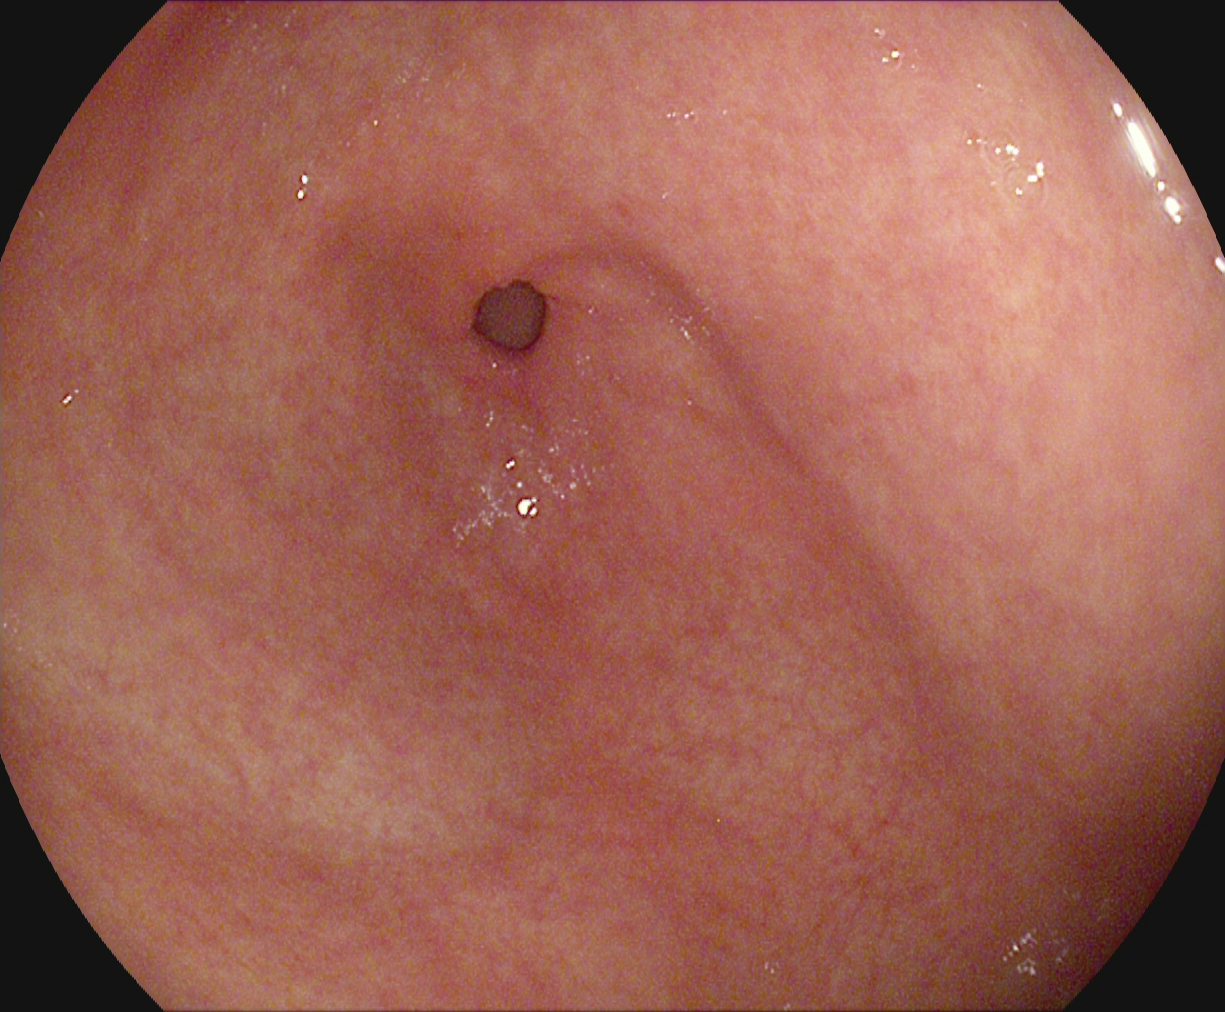pylorus.